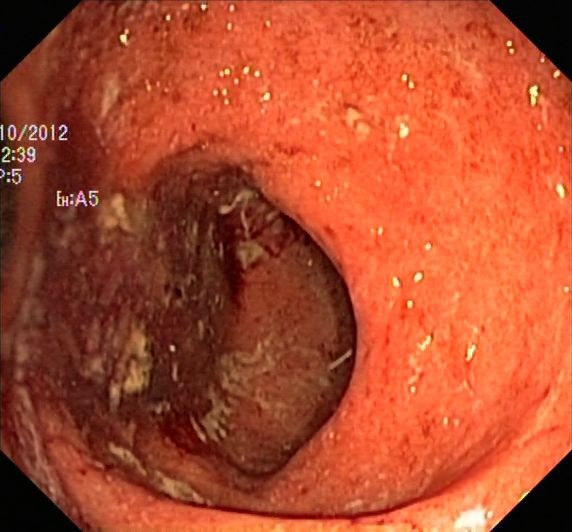PROCEDURE: Lower-GI endoscopy.
FINDINGS: UC, Mayo endoscopic subscore 3.